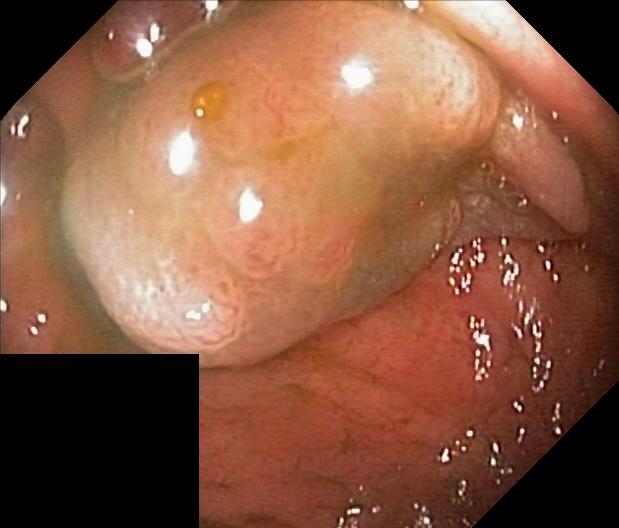PROCEDURE: Lower gastrointestinal endoscopy.
CATEGORY: Pathological finding.
FINDINGS: Colorectal polyp(s).